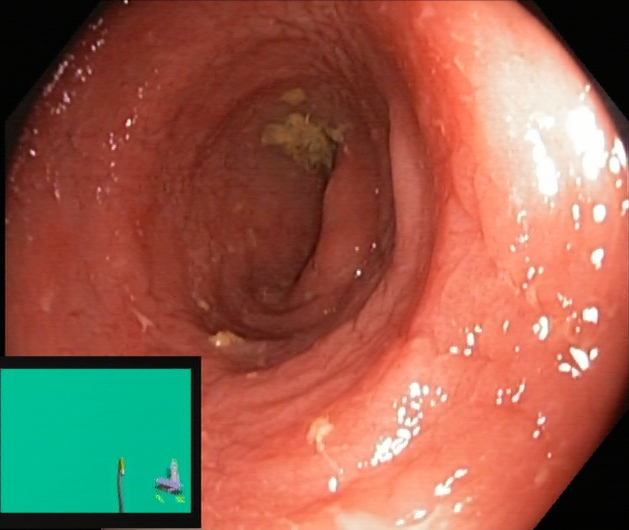Lower gastrointestinal endoscopy. Pathological finding. Finding: ulcerative colitis, Mayo endoscopic subscore 2.